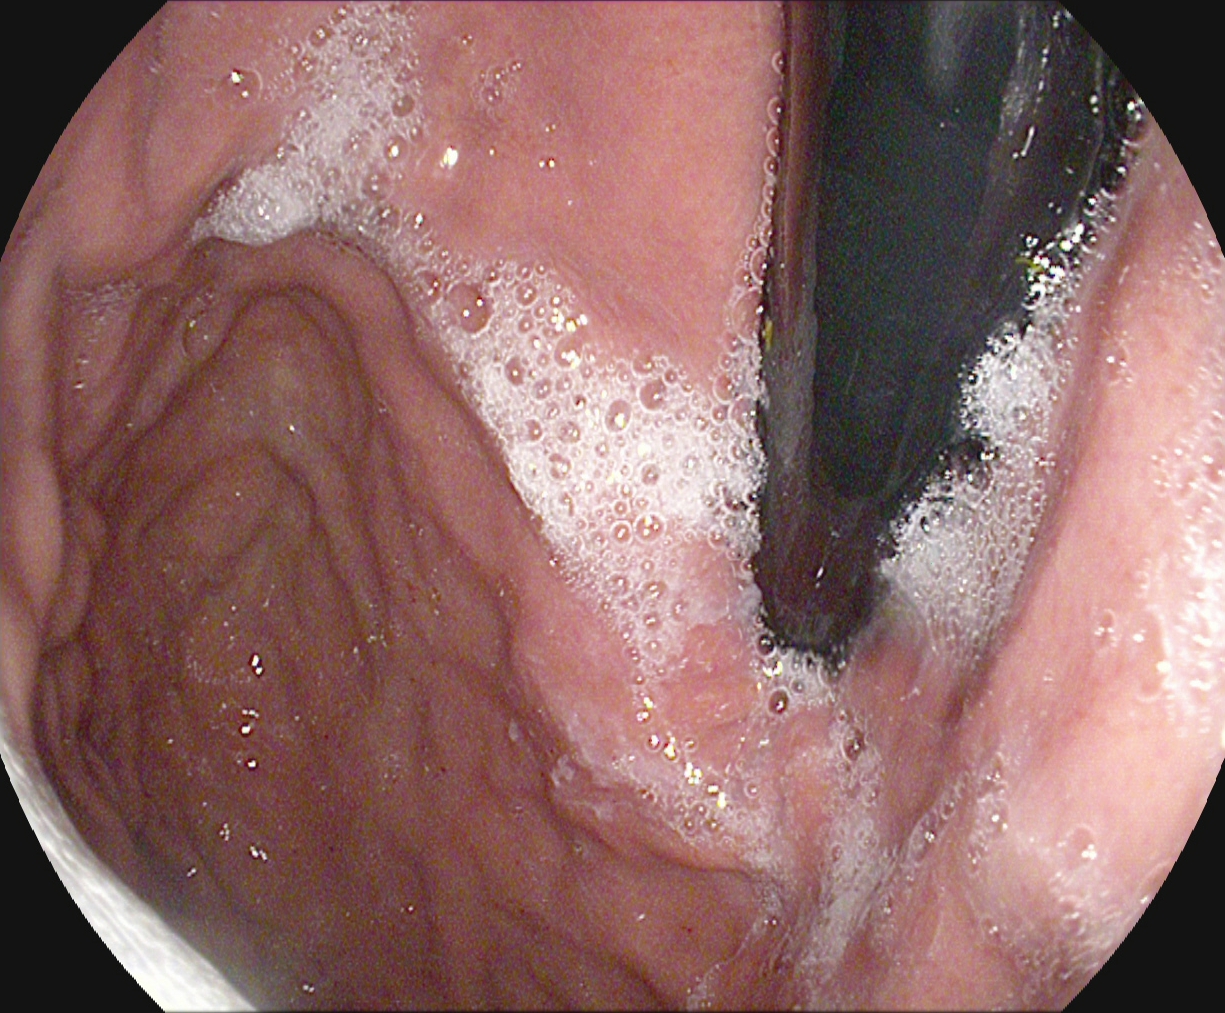PROCEDURE: Upper-GI endoscopy.
FINDINGS: Stomach in retroflexion.